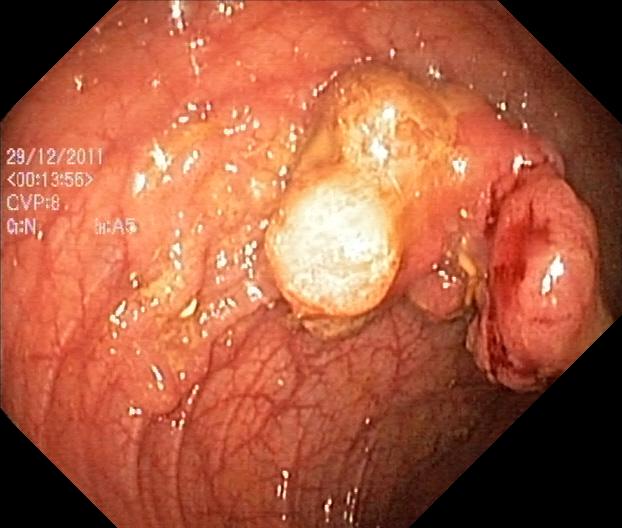Colorectal polyp(s).